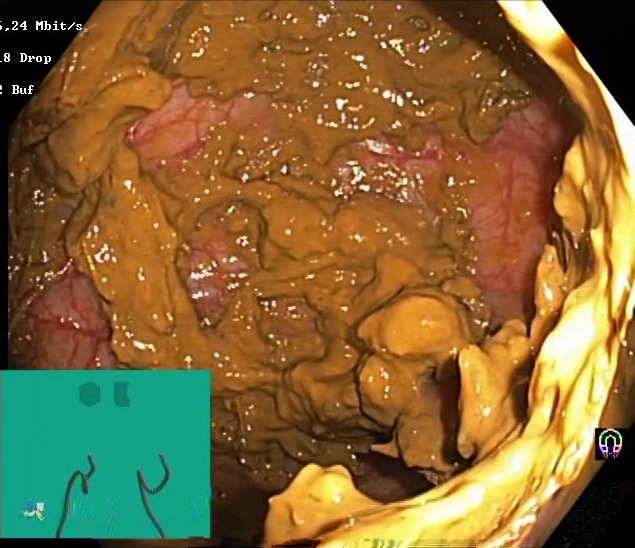This endoscopic image of the lower GI tract shows Boston Bowel Preparation Scale score 0–1 (inadequate preparation).